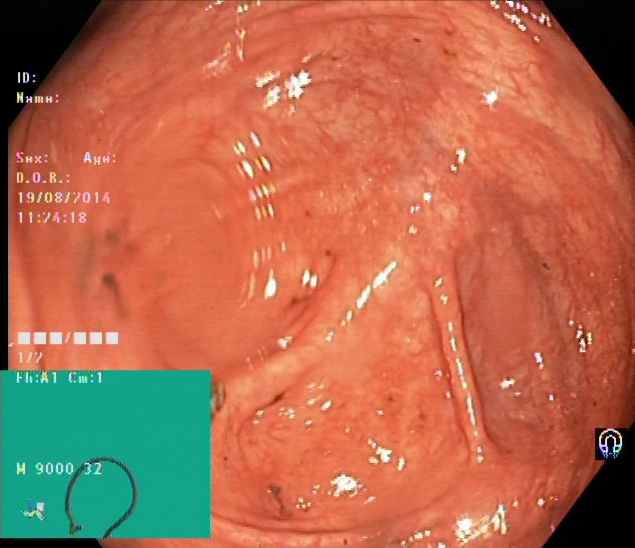Cecum.